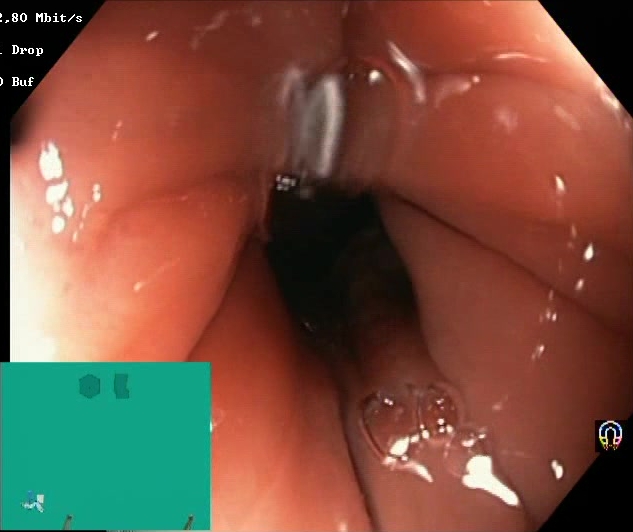GI endoscopy image of the lower GI tract showing Boston Bowel Preparation Scale score 2–3 (adequate preparation).